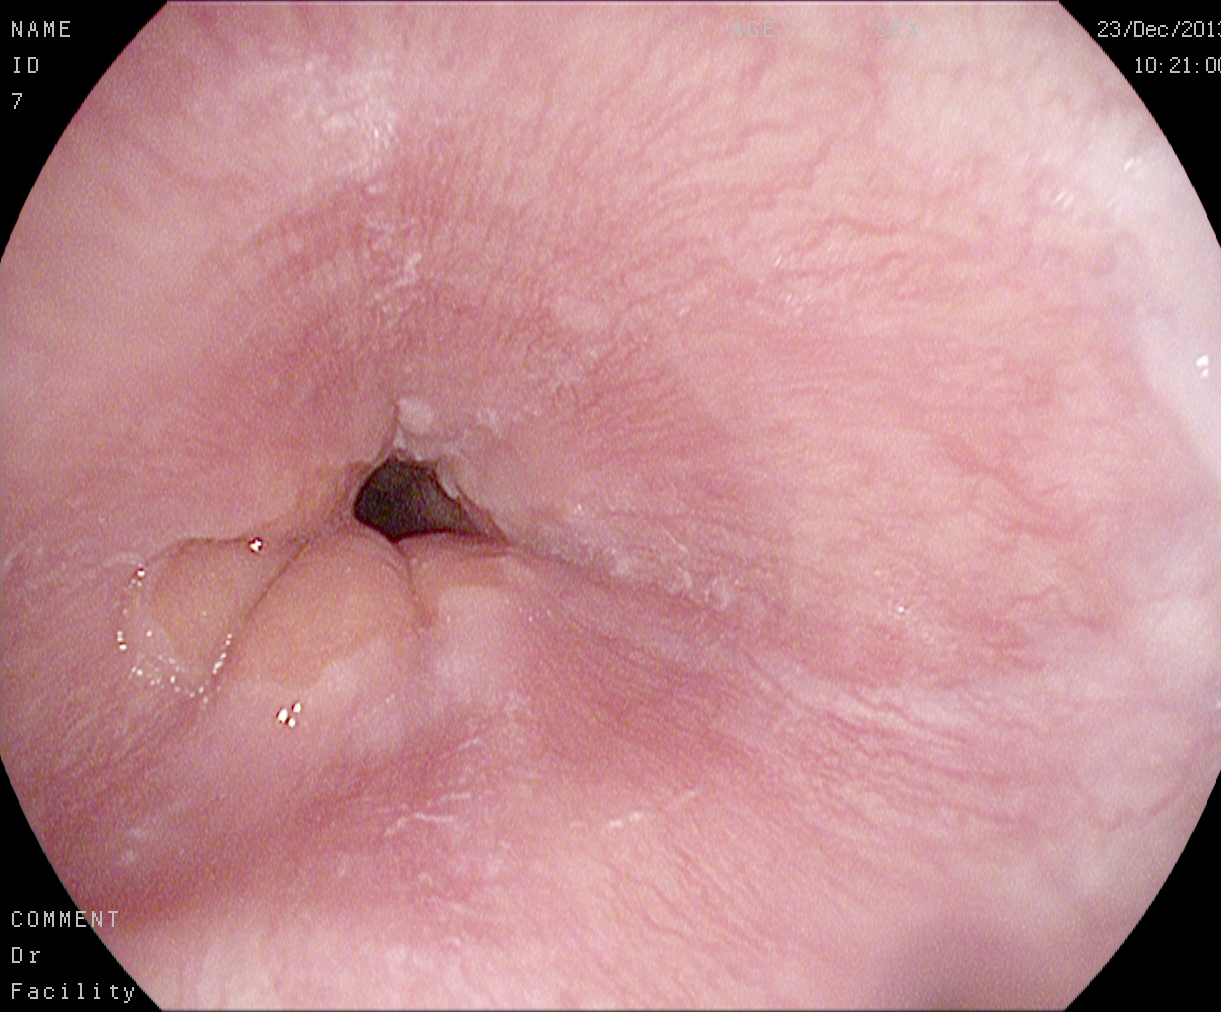Z-line (gastroesophageal junction).